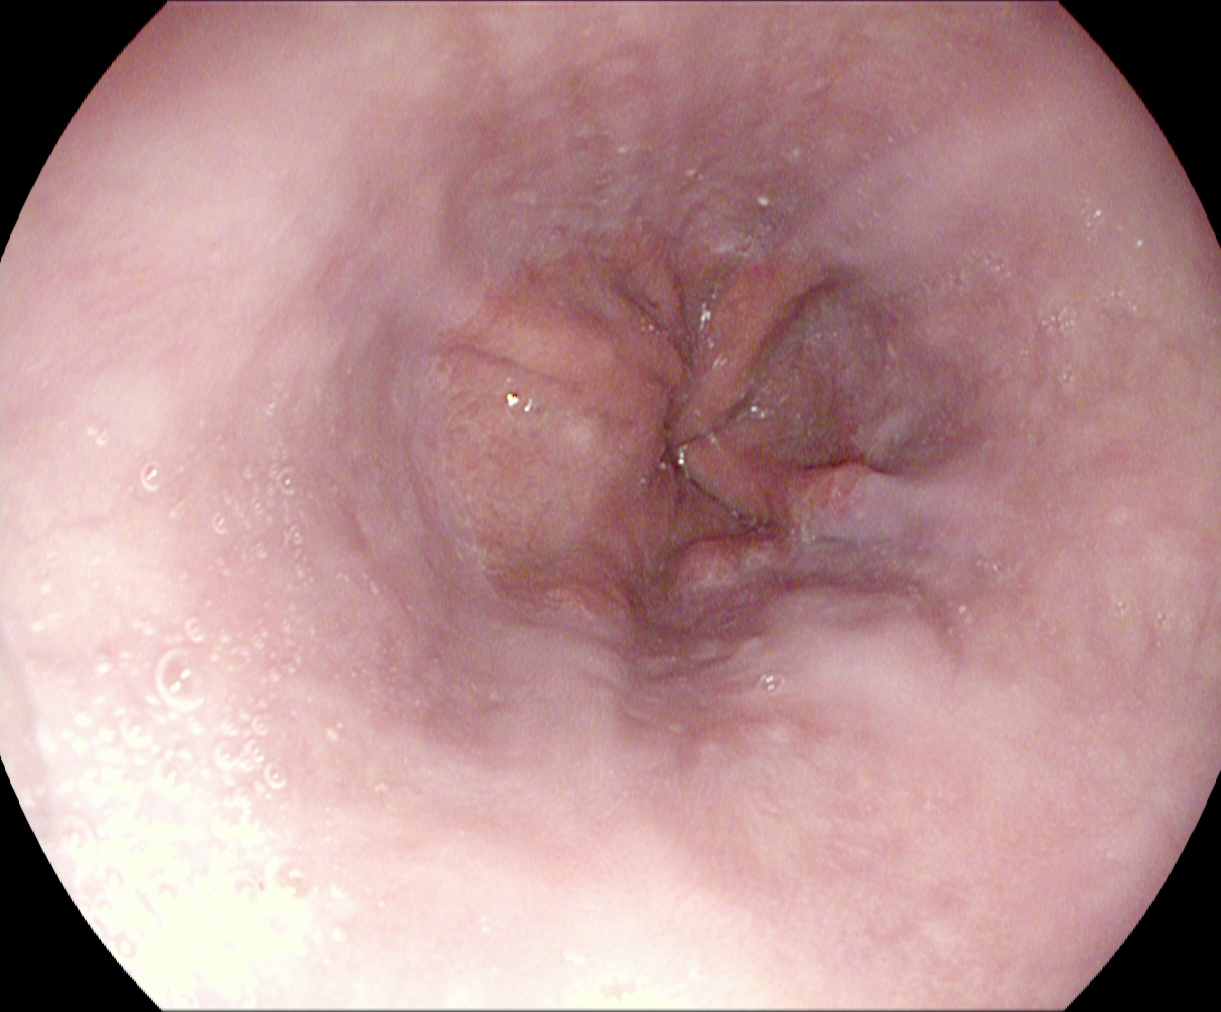PROCEDURE: Upper-GI endoscopy.
FINDINGS: Z-line (gastroesophageal junction).